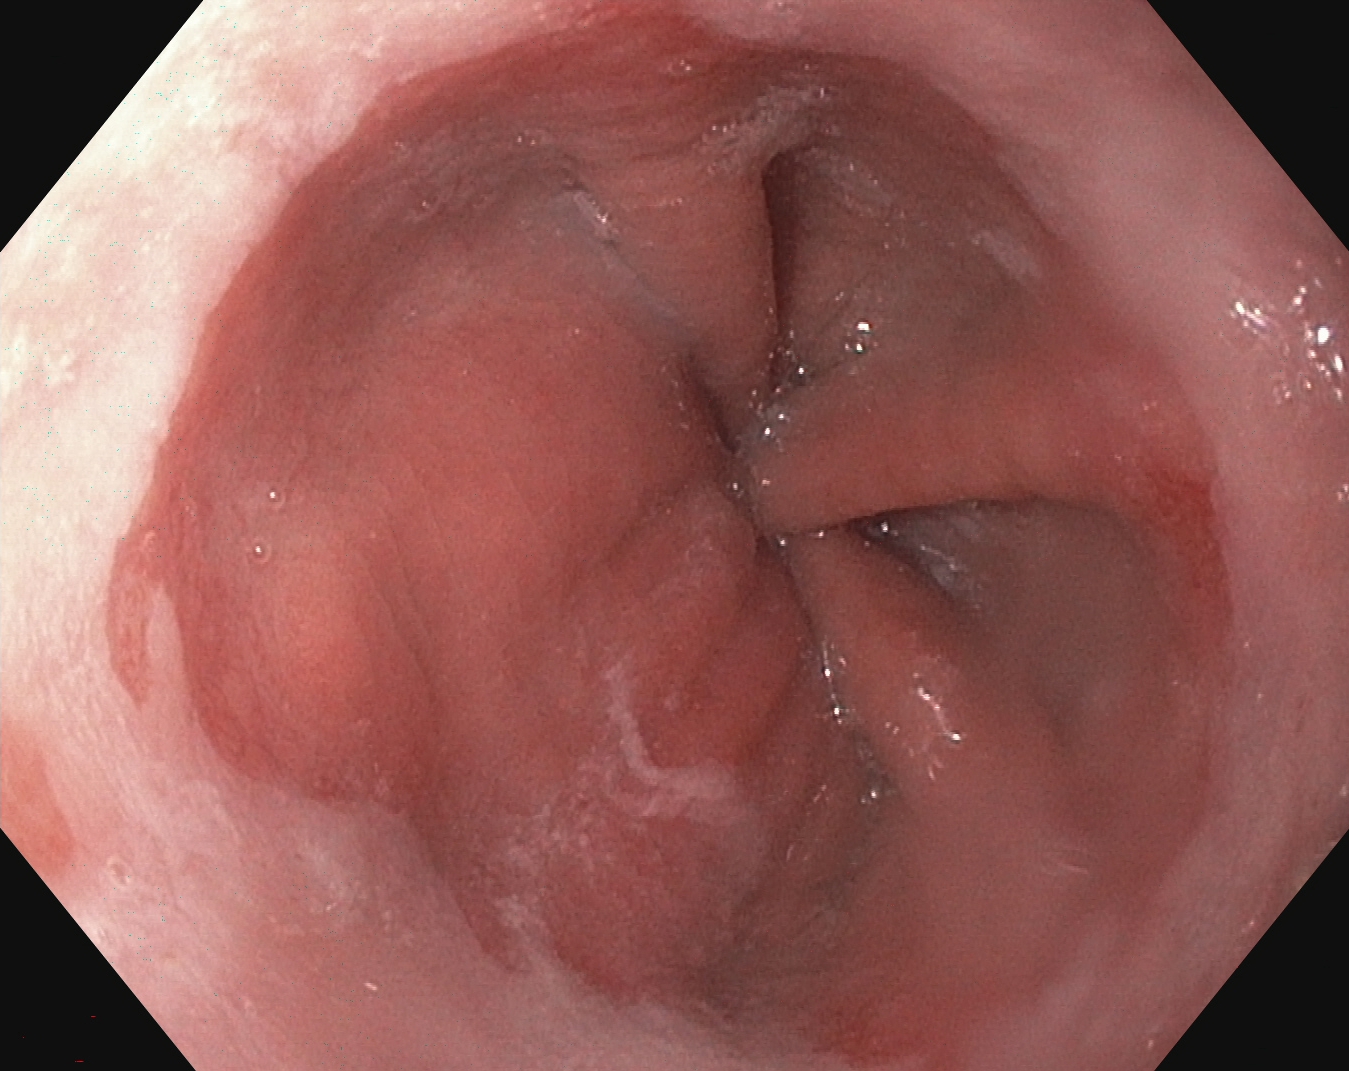modality: upper-GI endoscopy
tract: upper GI tract
finding: Z-line (gastroesophageal junction)